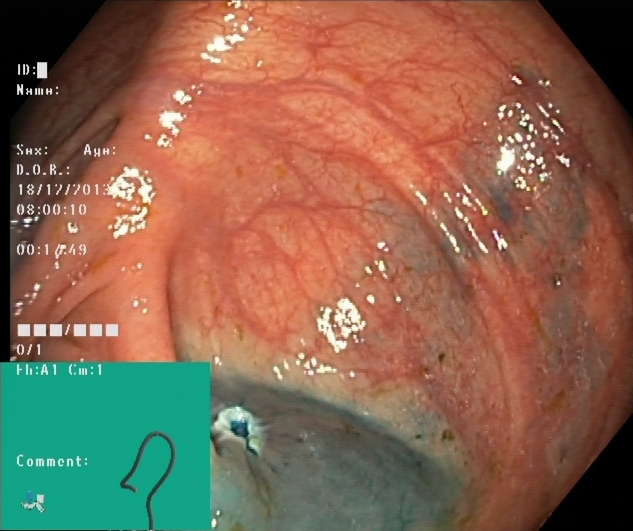Dyed resection margins (post-polypectomy).